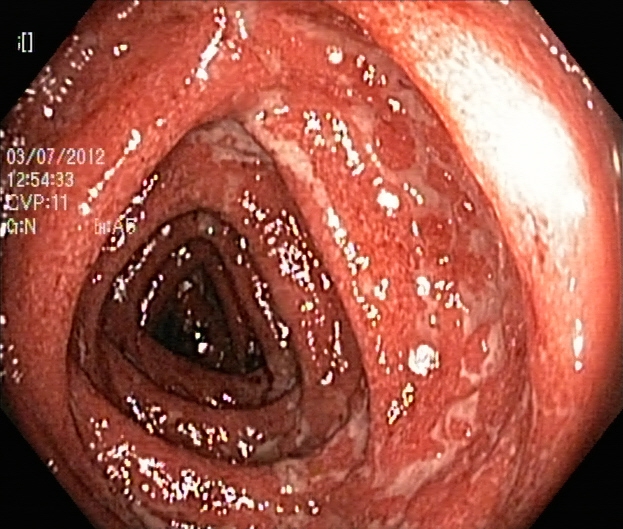Lower gastrointestinal endoscopy — ulcerative colitis, Mayo endoscopic subscore 2–3.